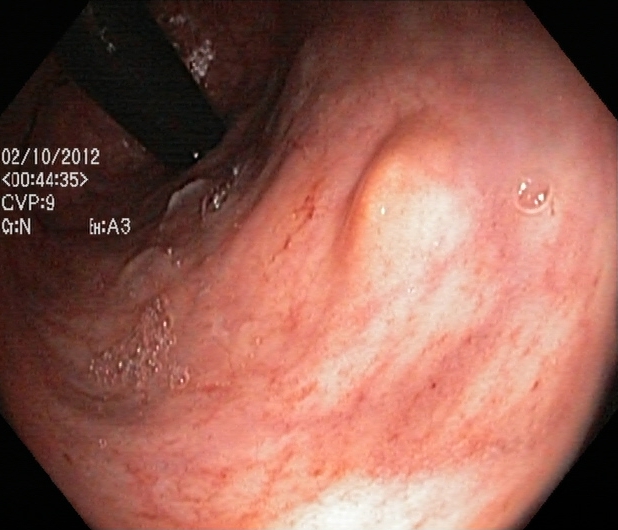PROCEDURE: Lower gastrointestinal endoscopy.
CATEGORY: Anatomical landmark.
FINDINGS: Rectum in retroflexion.